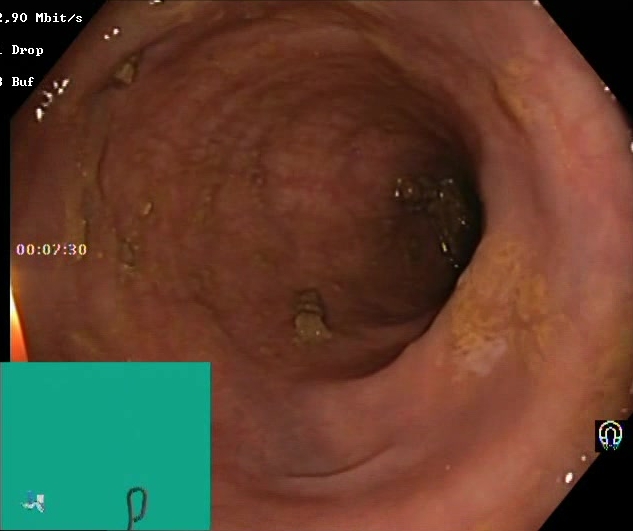This endoscopy frame of the lower GI tract shows Boston Bowel Preparation Scale score 2–3 (adequate preparation).